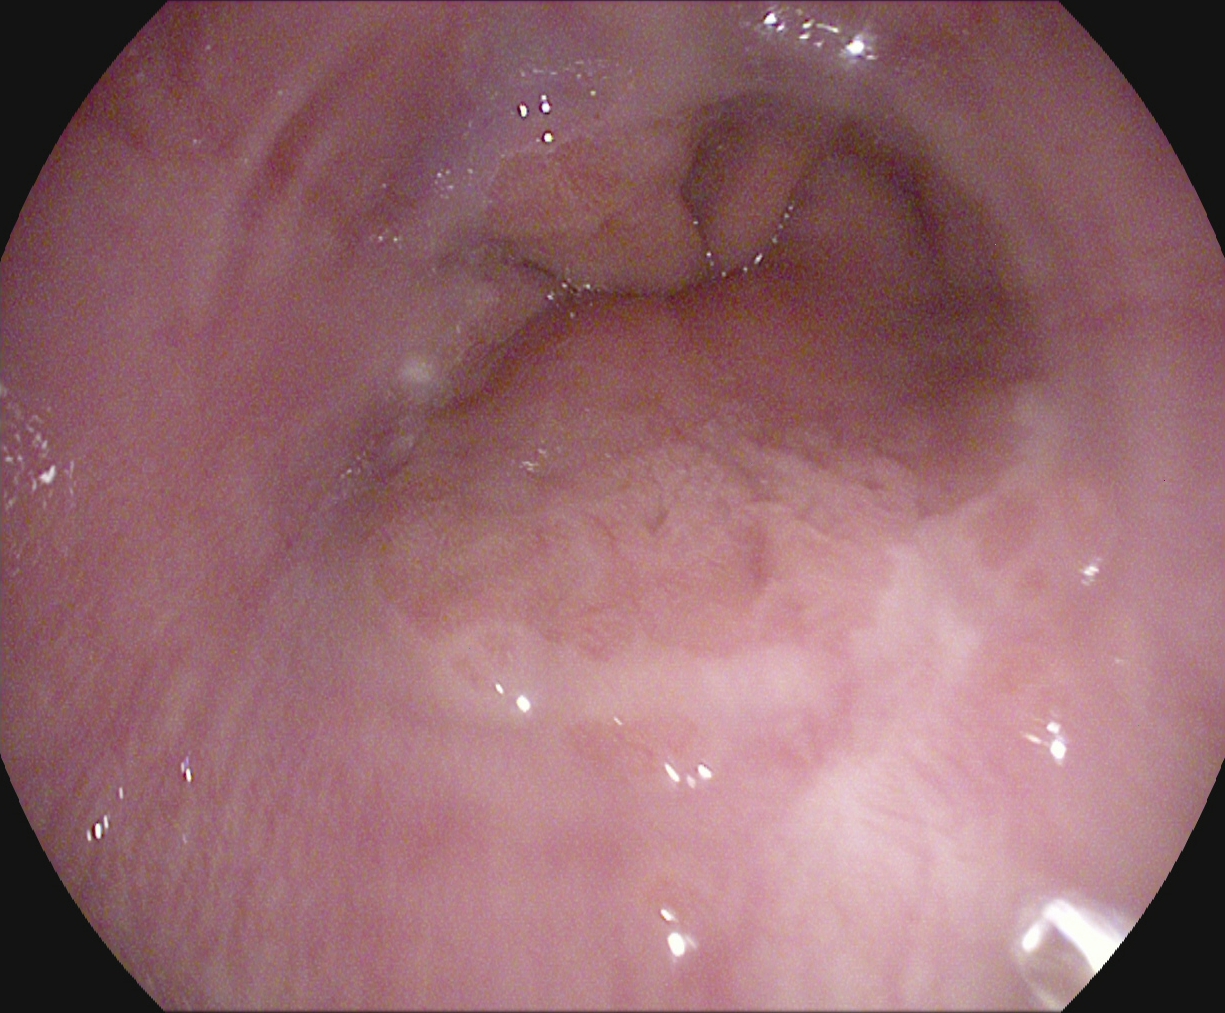Z-line (gastroesophageal junction).